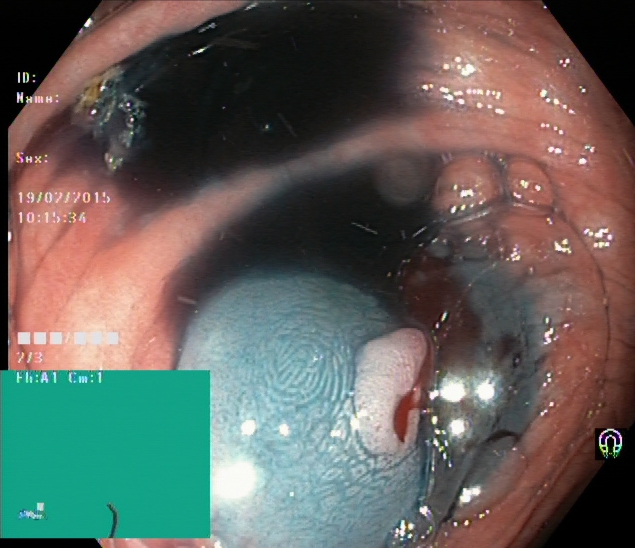GI endoscopy image of the lower GI tract showing dyed and lifted polyp (pre-resection).